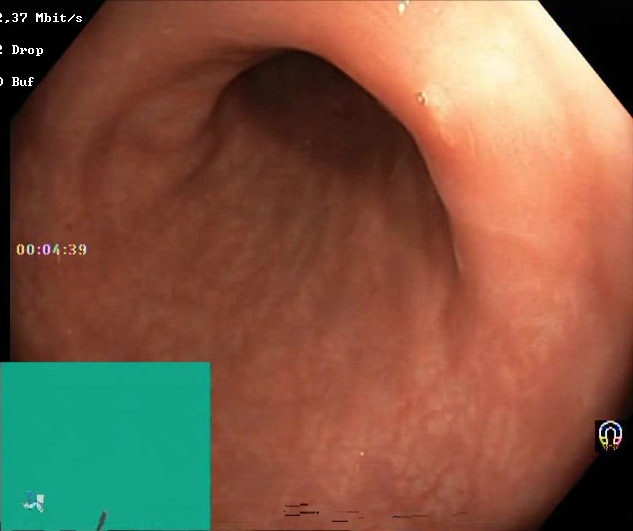Boston Bowel Preparation Scale score 2–3 (adequate preparation).